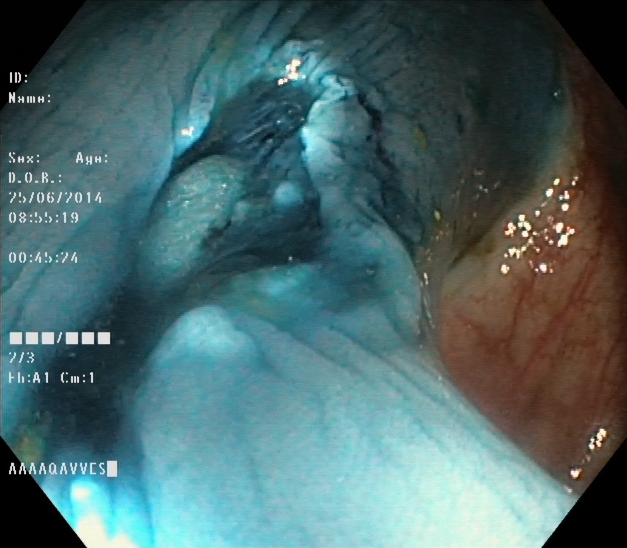Lower gastrointestinal endoscopy. Therapeutic intervention. Finding: dyed resection margins (post-polypectomy).